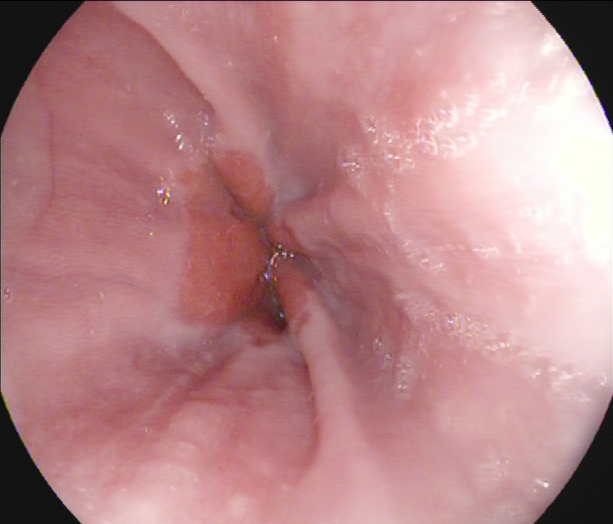EGD — Z-line (gastroesophageal junction).